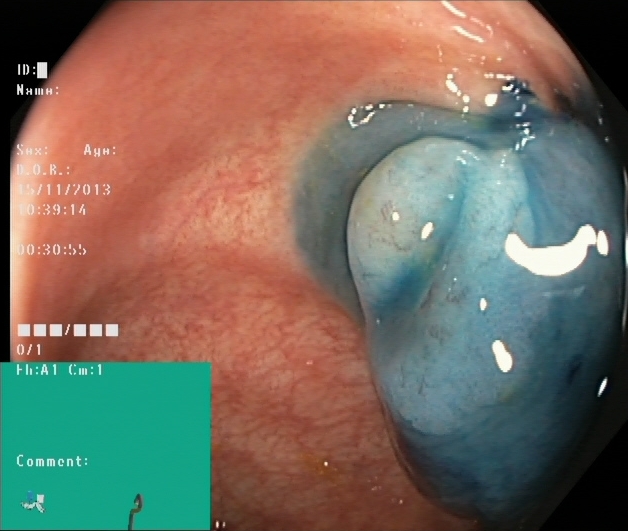dyed and lifted polyp (pre-resection).